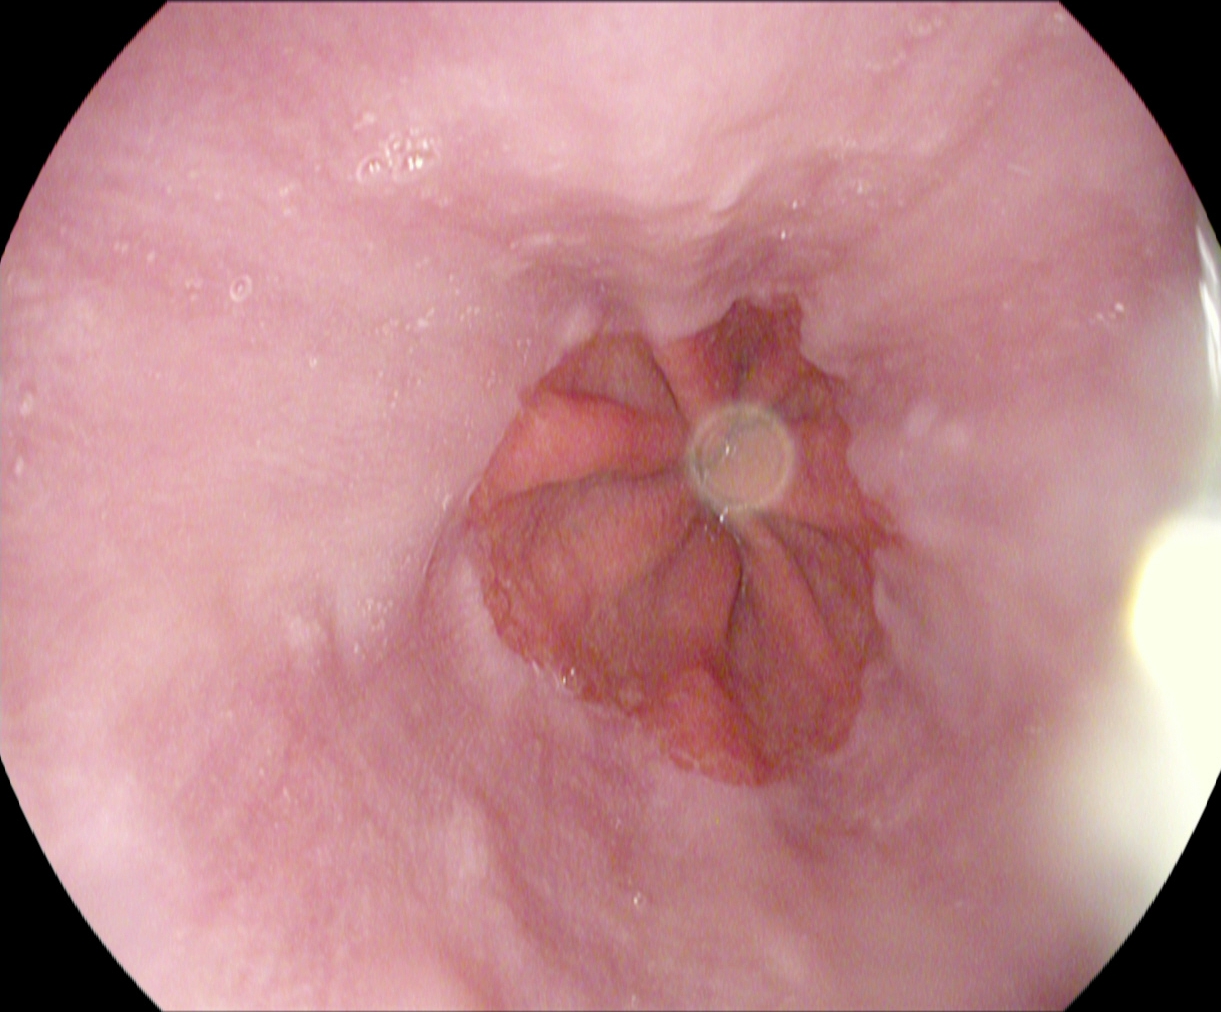{"modality": "EGD", "tract": "upper GI tract", "finding": "Z-line (gastroesophageal junction)"}